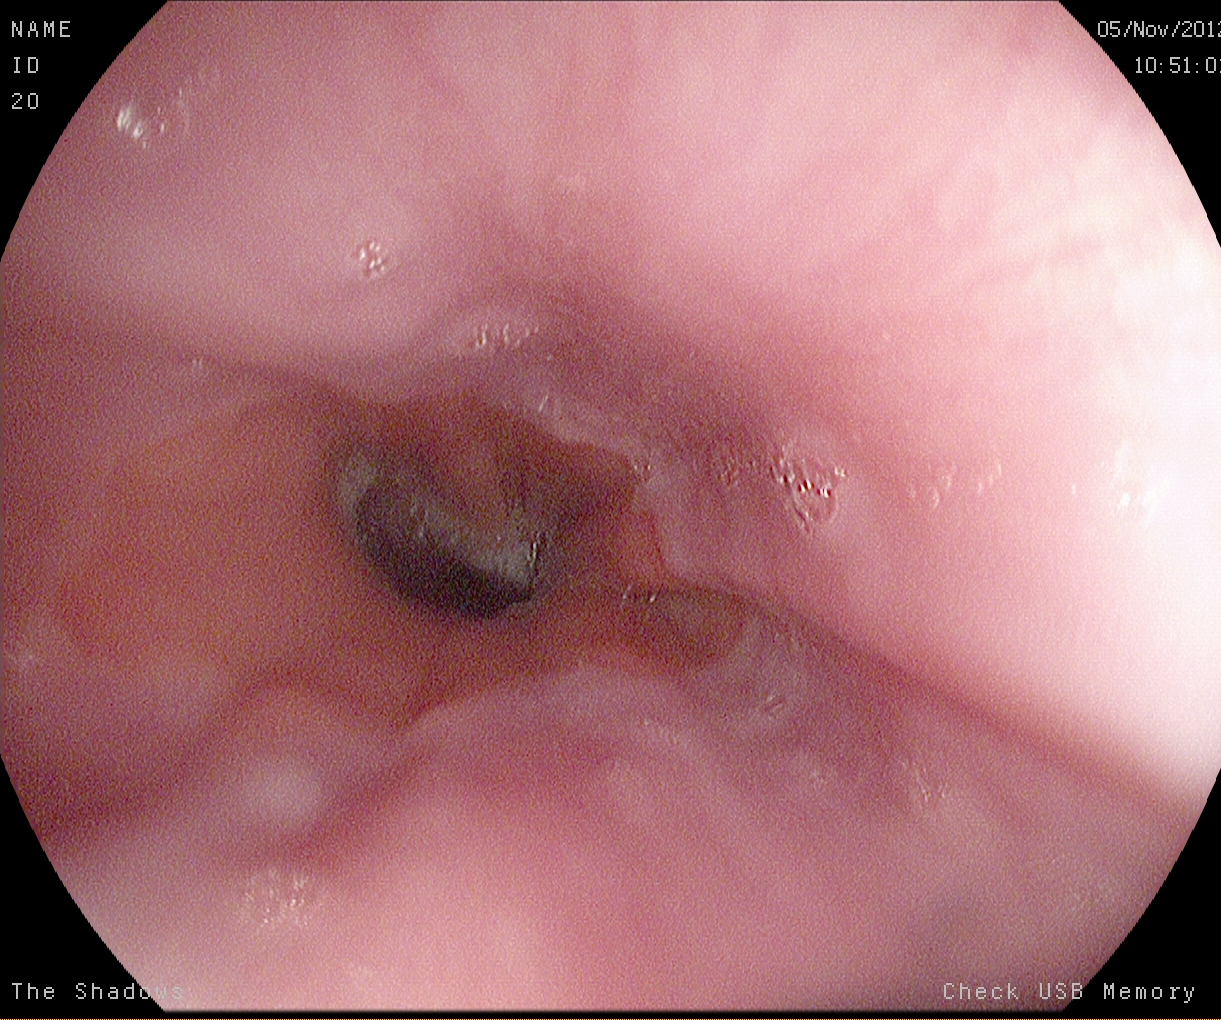PROCEDURE: Esophagogastroduodenoscopy.
FINDINGS: Z-line (gastroesophageal junction).